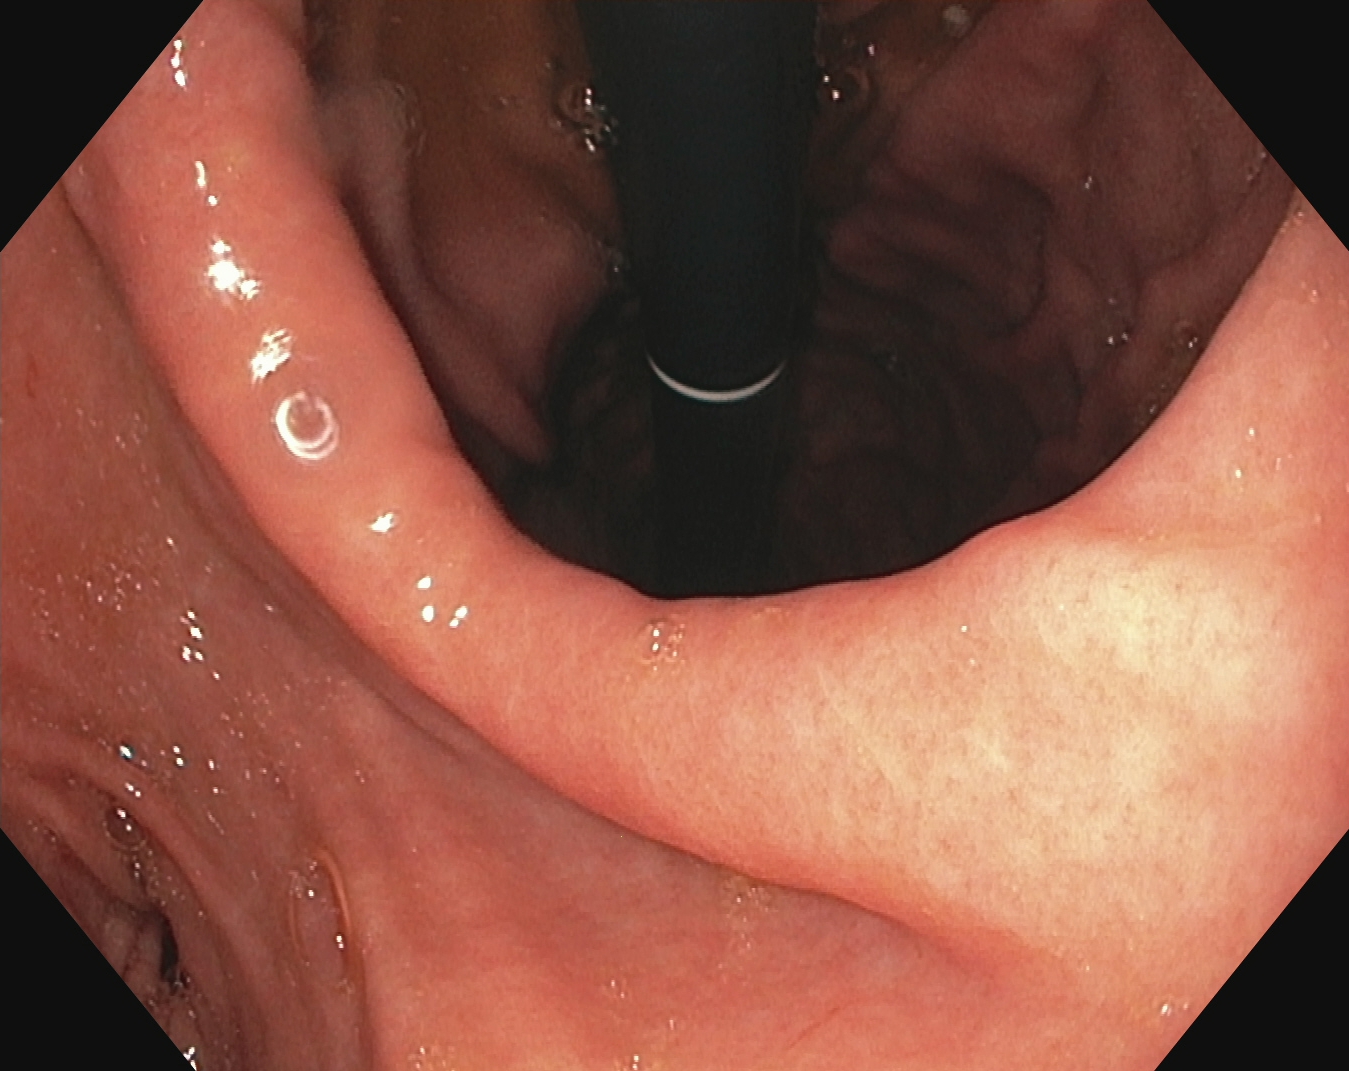PROCEDURE: Gastroscopy.
FINDINGS: Stomach in retroflexion.